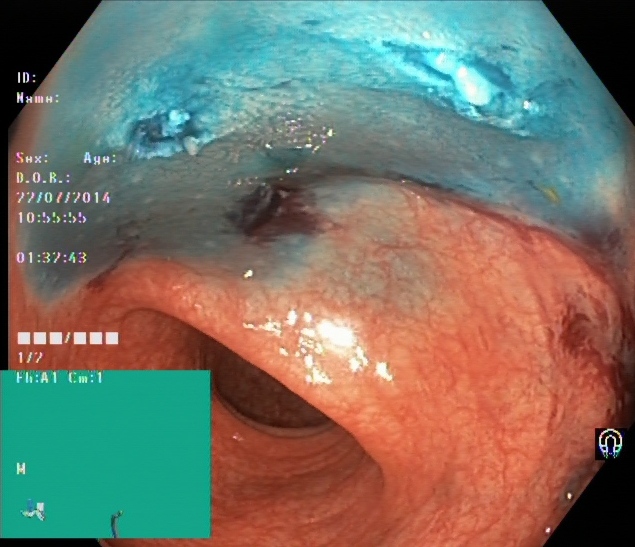Lower-GI endoscopy image showing dyed resection margins (post-polypectomy).